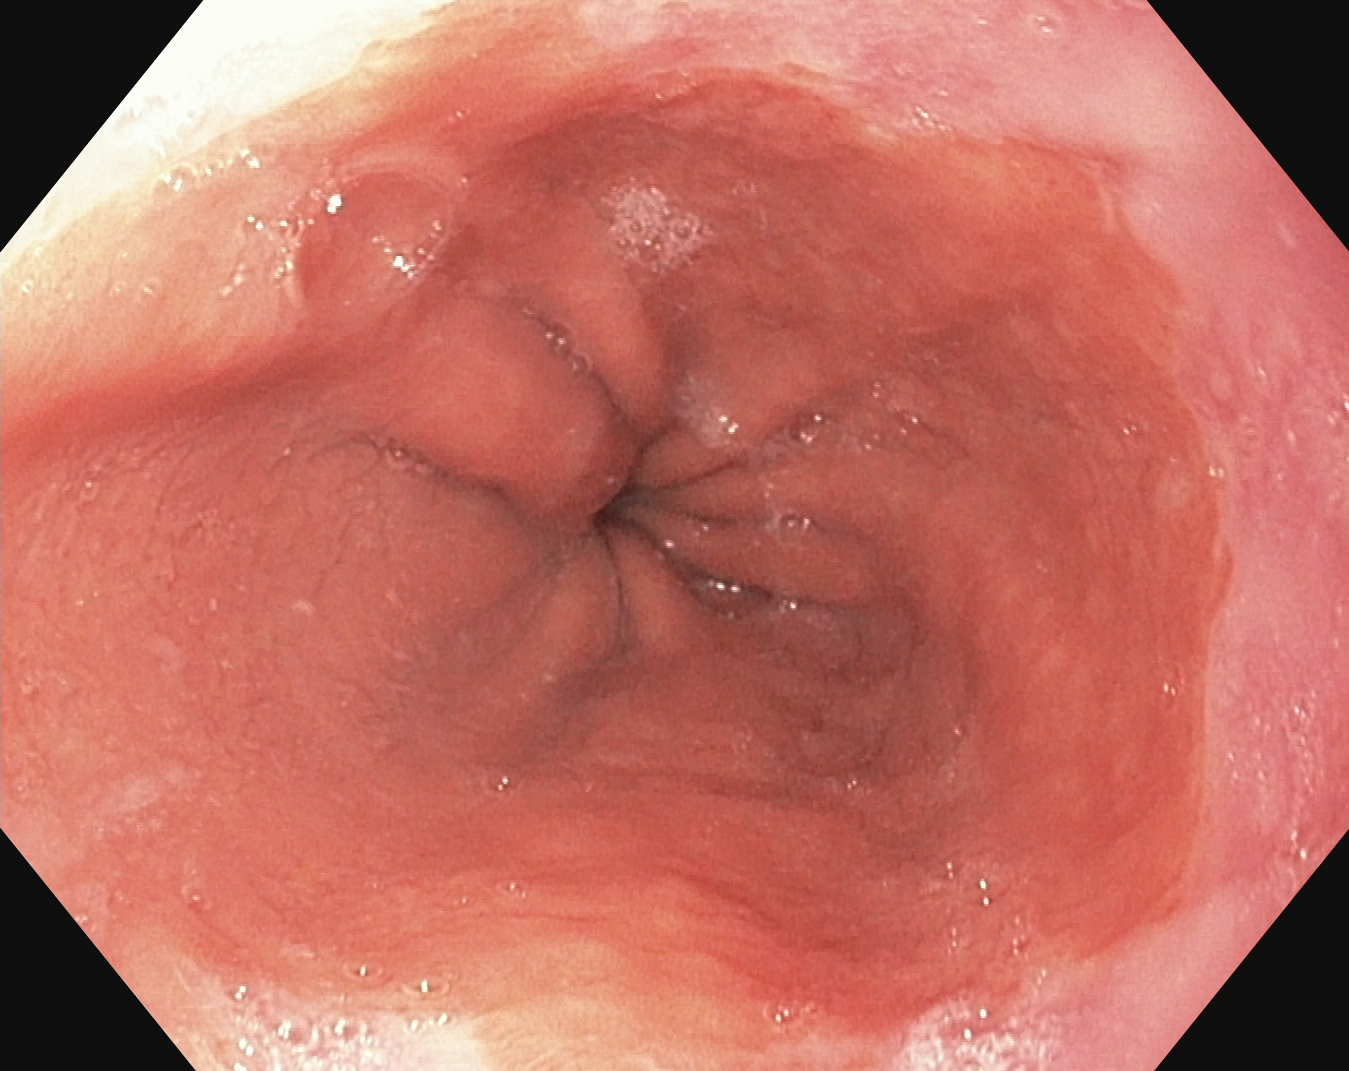Endoscopic image of the upper GI tract showing Barrett's esophagus.